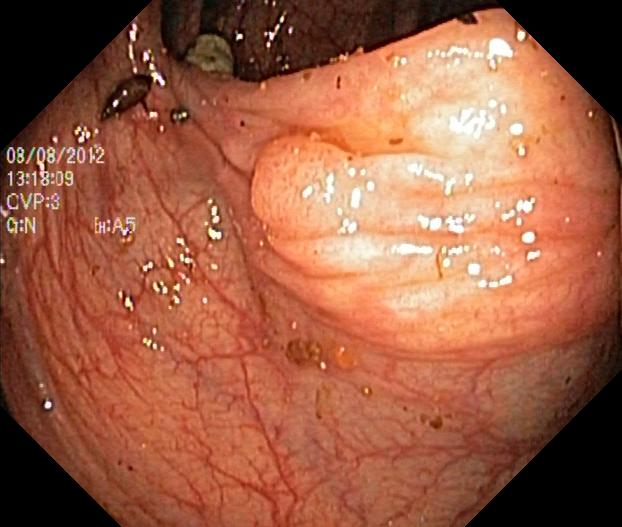Lower-GI endoscopy. Finding: colorectal polyp(s).